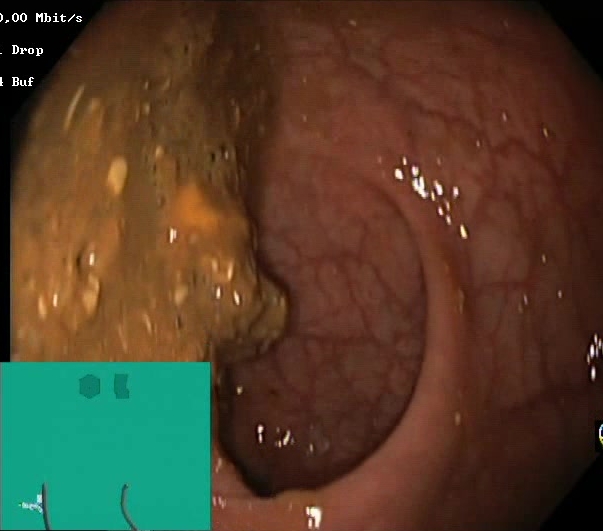{"modality": "lower gastrointestinal endoscopy", "tract": "lower GI tract", "category": "mucosal-view quality", "finding": "Boston Bowel Preparation Scale score 0\u20131 (inadequate preparation)"}